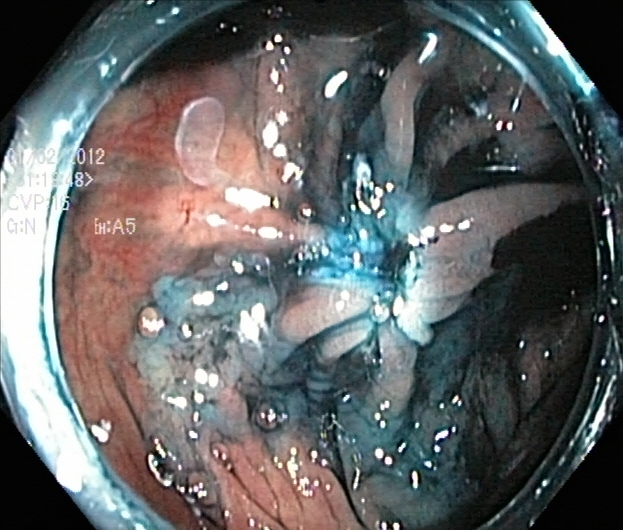{"modality": "lower-GI endoscopy", "category": "therapeutic intervention", "finding": "dyed resection margins (post-polypectomy)"}